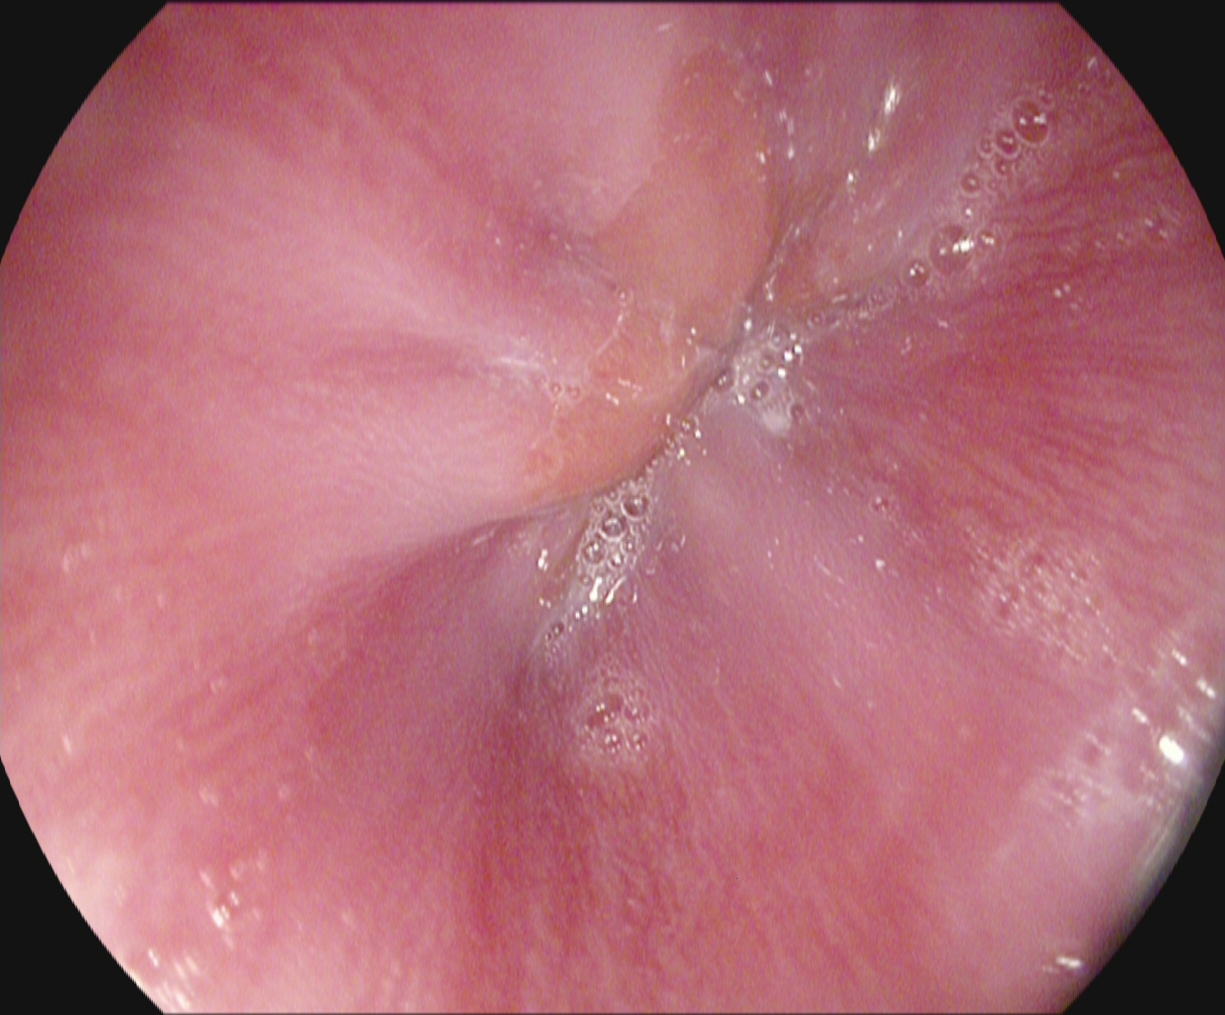Endoscopic image showing Z-line (gastroesophageal junction).